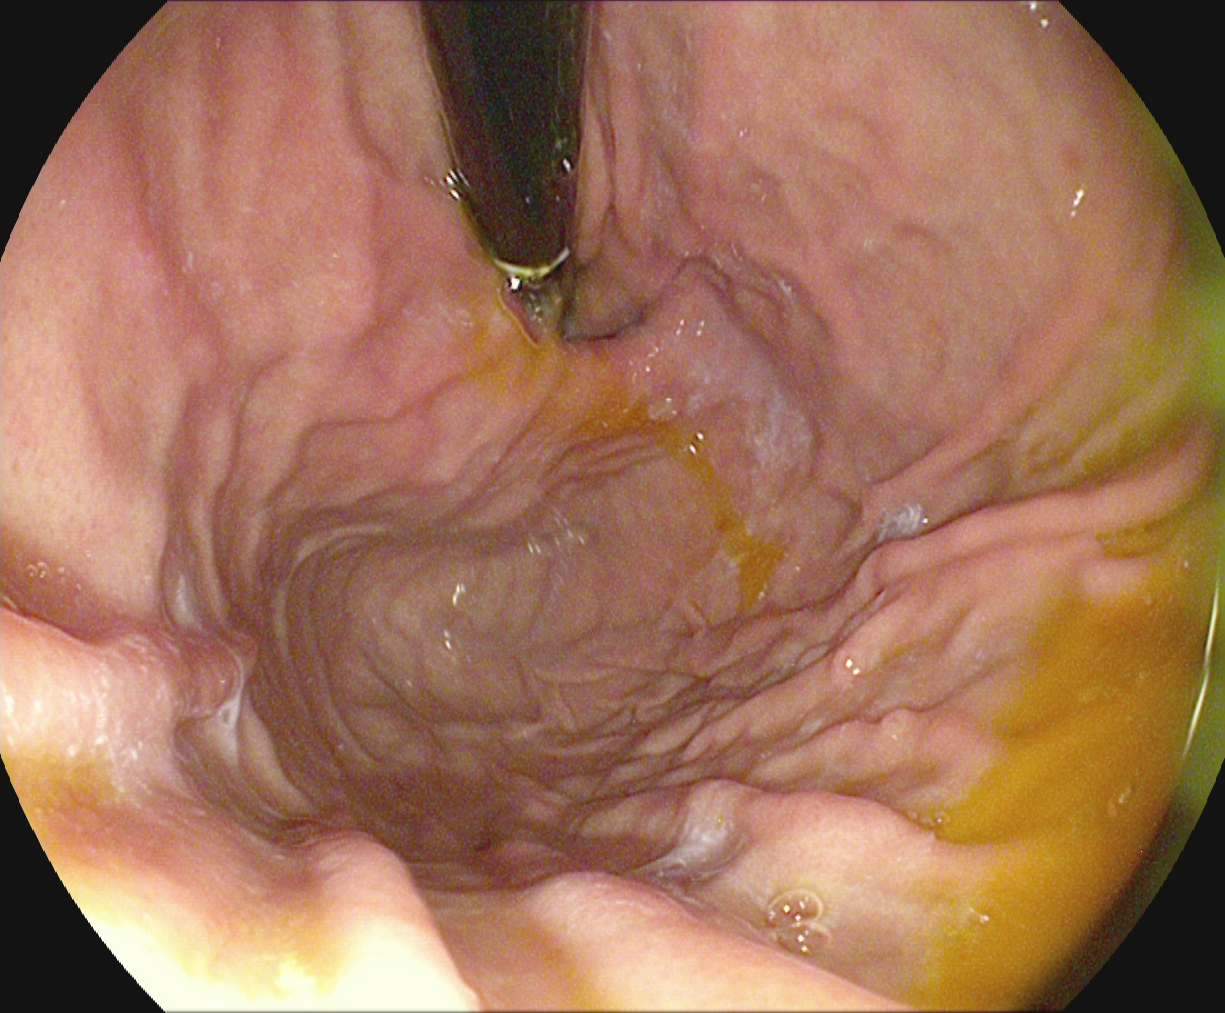This endoscopic image of the upper GI tract shows stomach in retroflexion.